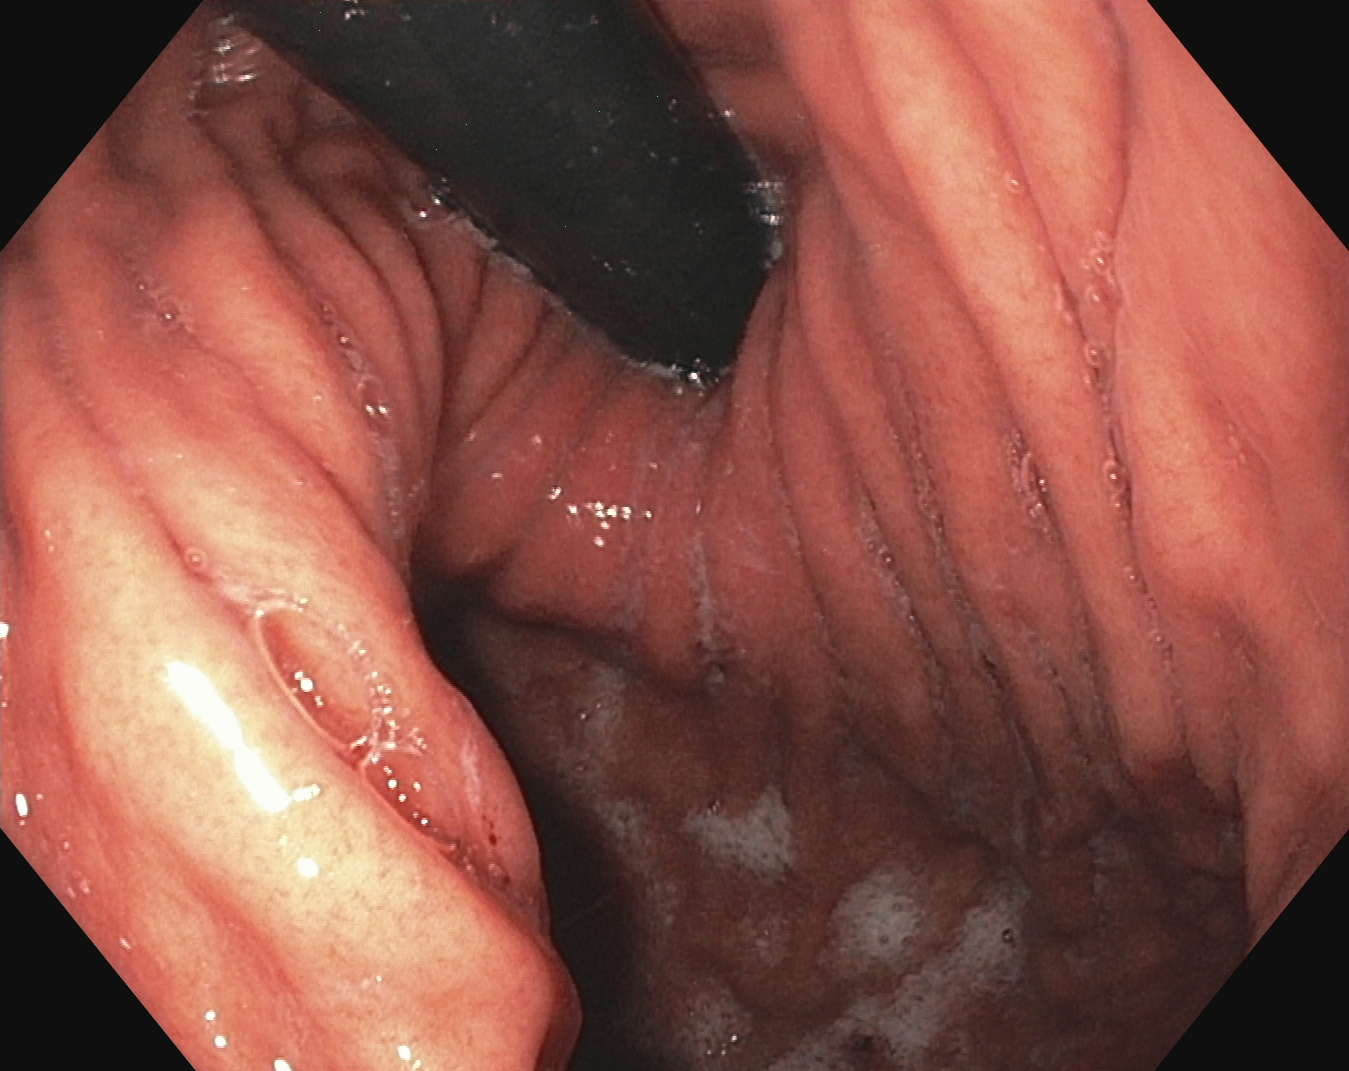Endoscopic frame of the upper GI tract showing stomach in retroflexion.